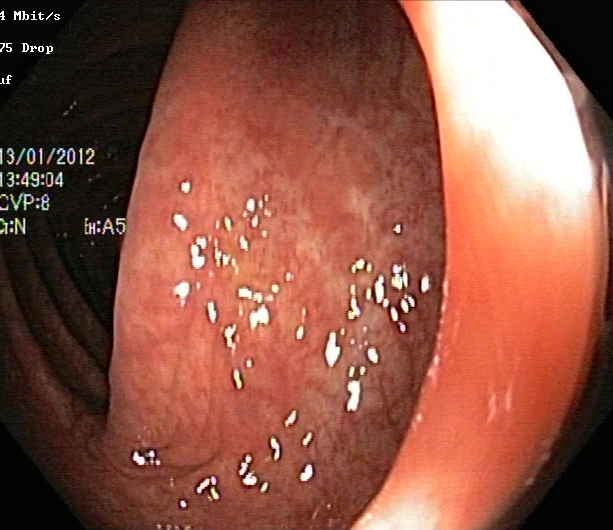Ulcerative colitis, Mayo endoscopic subscore 1.